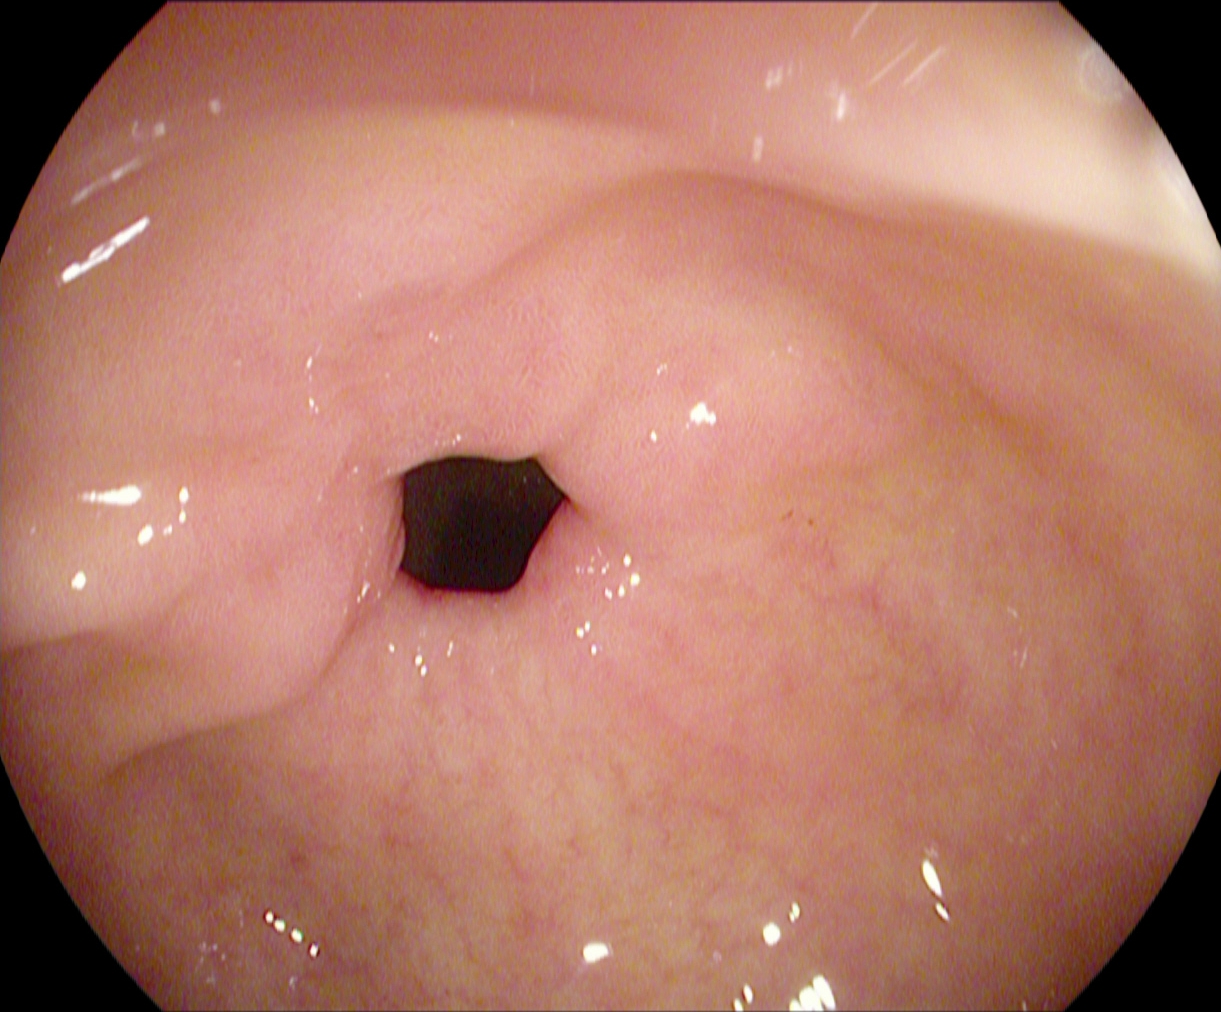GI endoscopy image of the upper GI tract showing pylorus.